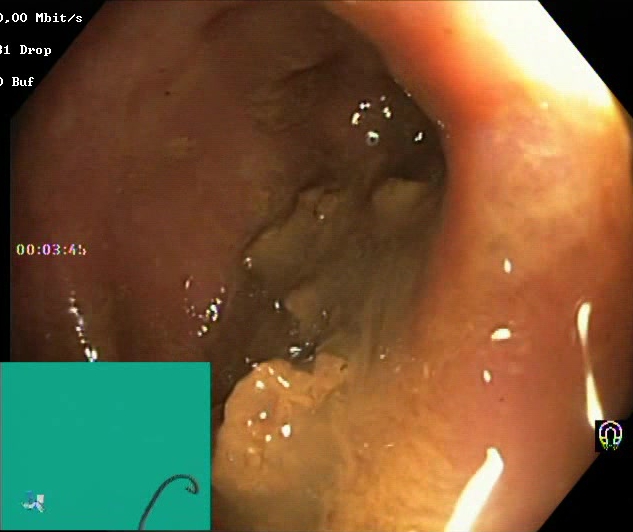modality: colonoscopy
tract: lower GI tract
category: mucosal-view quality
finding: Boston Bowel Preparation Scale score 0–1 (inadequate preparation)